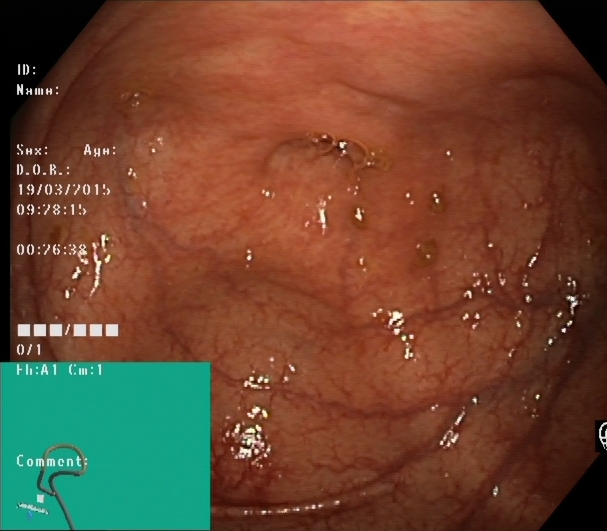PROCEDURE: Lower gastrointestinal endoscopy.
FINDINGS: Cecum.